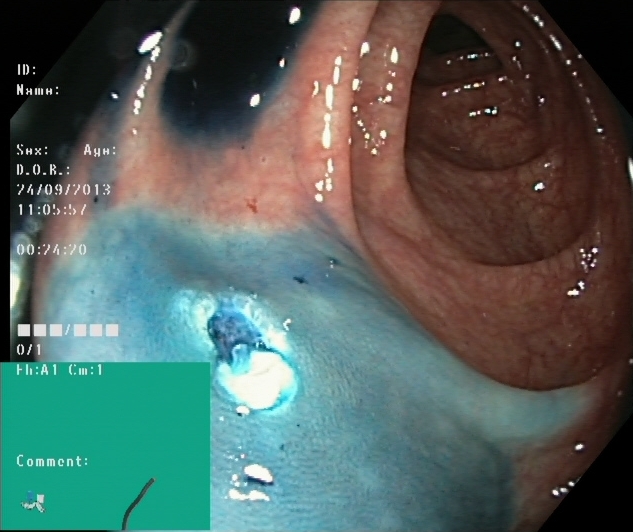Dyed resection margins (post-polypectomy).